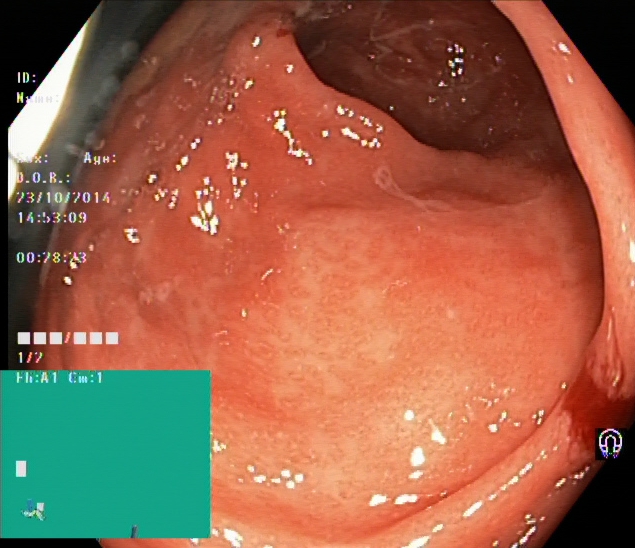Lower gastrointestinal endoscopy image of the lower GI tract showing ulcerative colitis, Mayo endoscopic subscore 2.